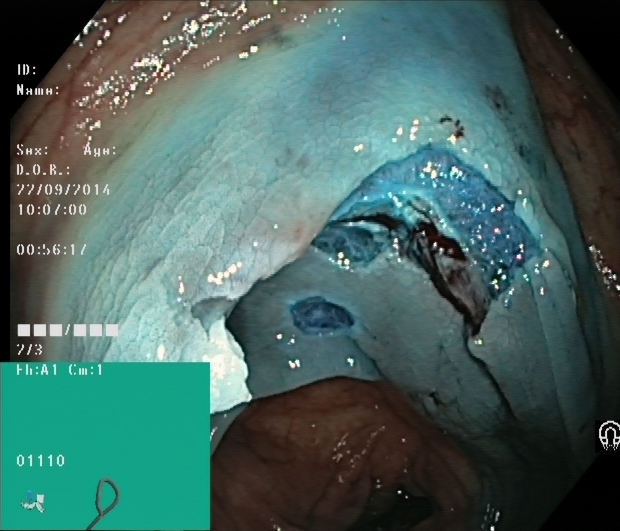modality: lower gastrointestinal endoscopy; category: therapeutic intervention; finding: dyed resection margins (post-polypectomy)